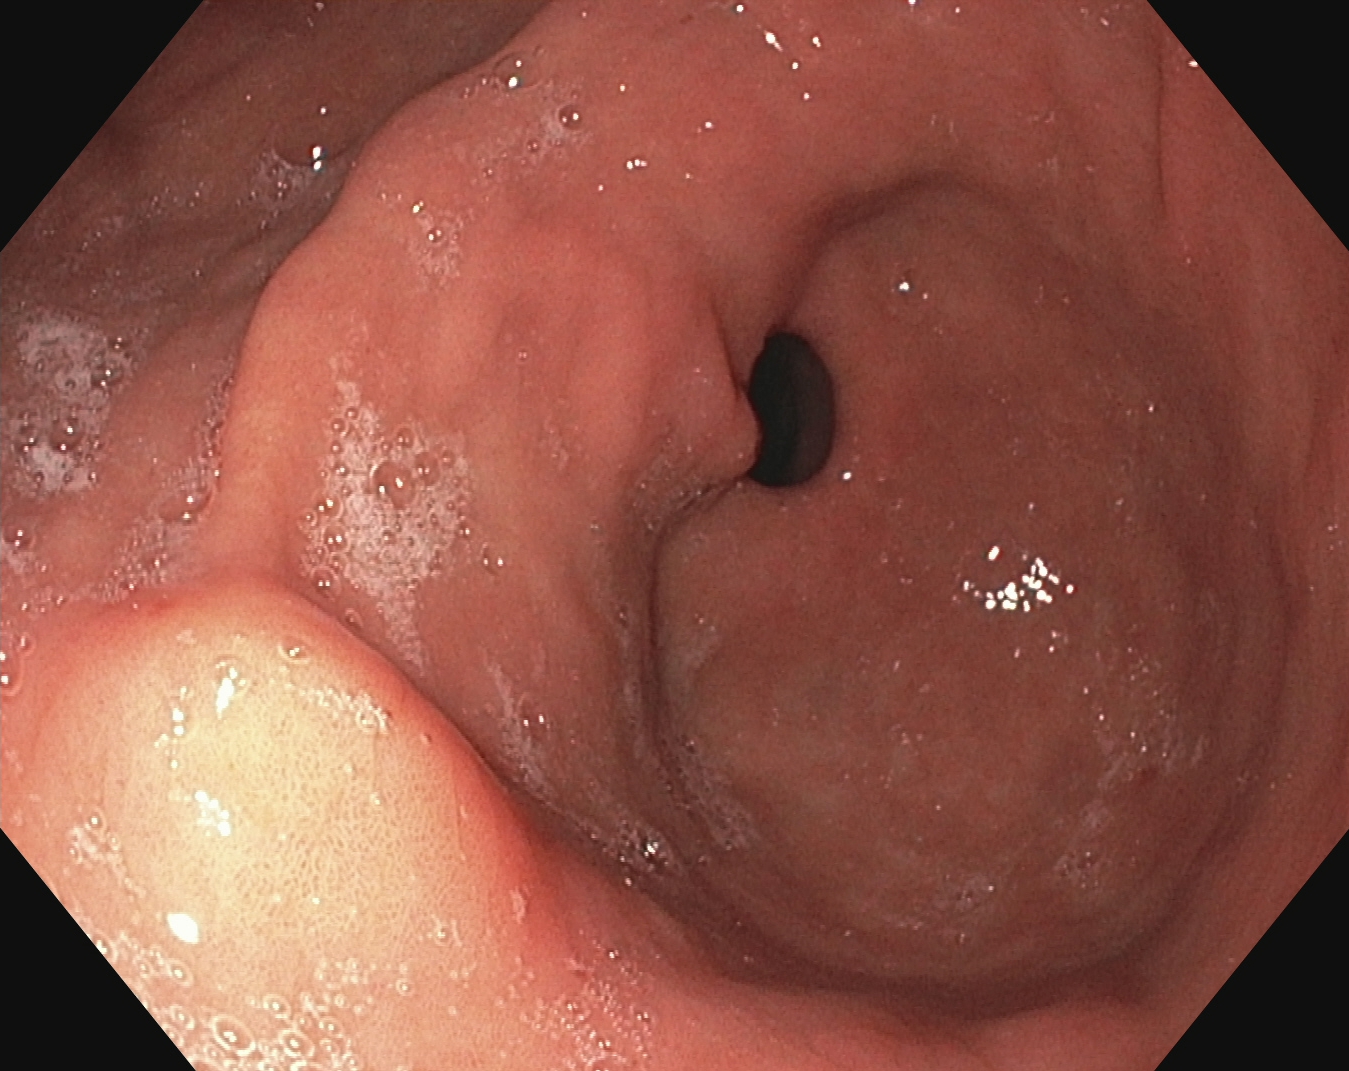modality: EGD; tract: upper GI tract; finding: pylorus